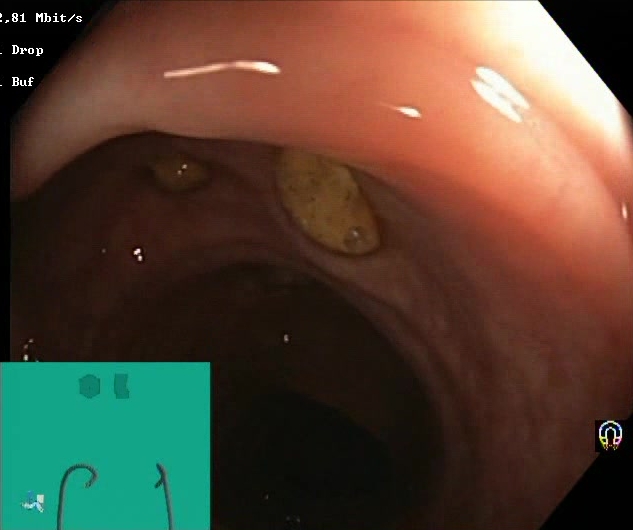{"modality": "lower-GI endoscopy", "finding": "BBPS score 2\u20133 (adequate preparation)"}